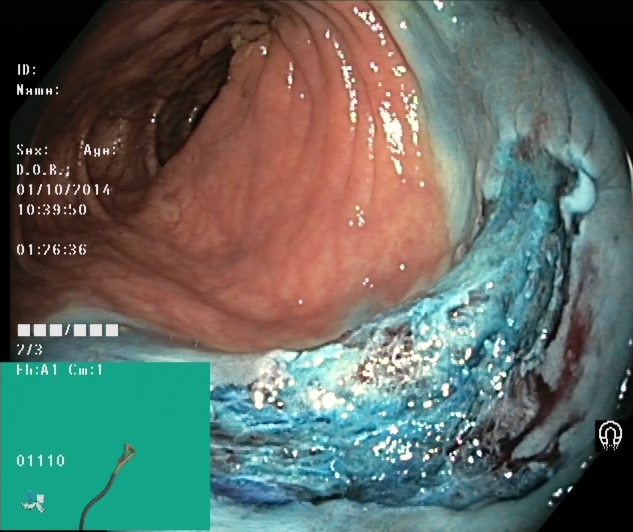{"modality": "lower gastrointestinal endoscopy", "tract": "lower GI tract", "finding": "dyed resection margins (post-polypectomy)"}